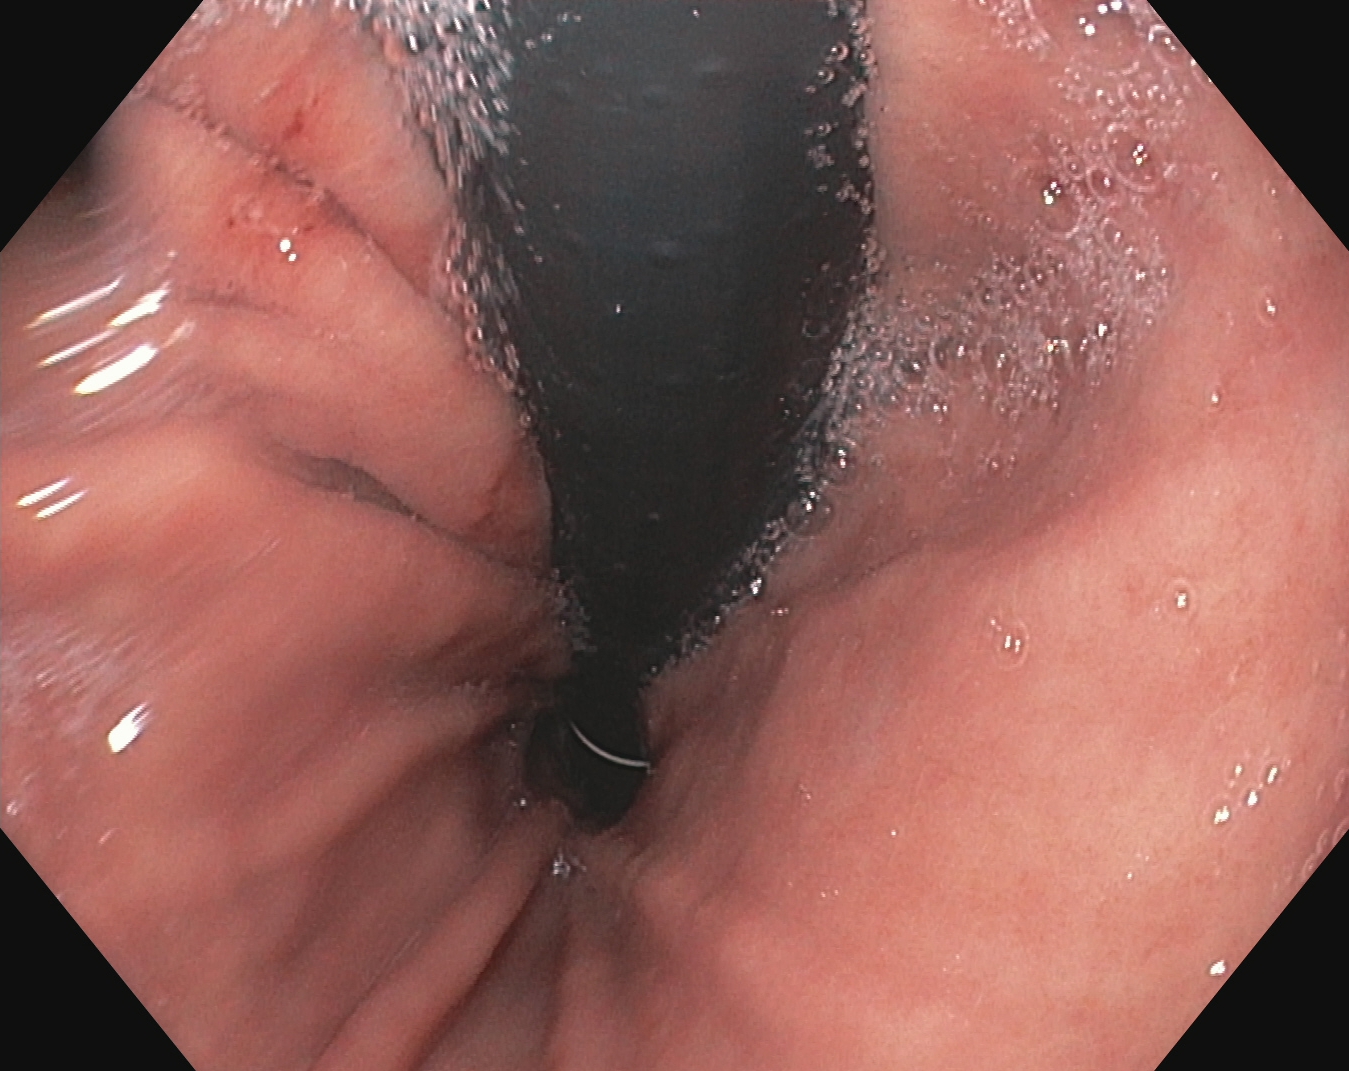{"modality": "EGD", "tract": "upper GI tract", "finding": "stomach in retroflexion"}